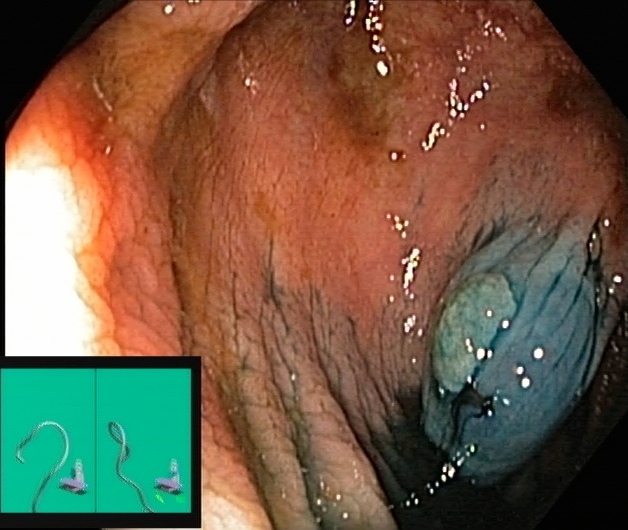PROCEDURE: Colonoscopy.
FINDINGS: Dyed and lifted polyp (pre-resection).